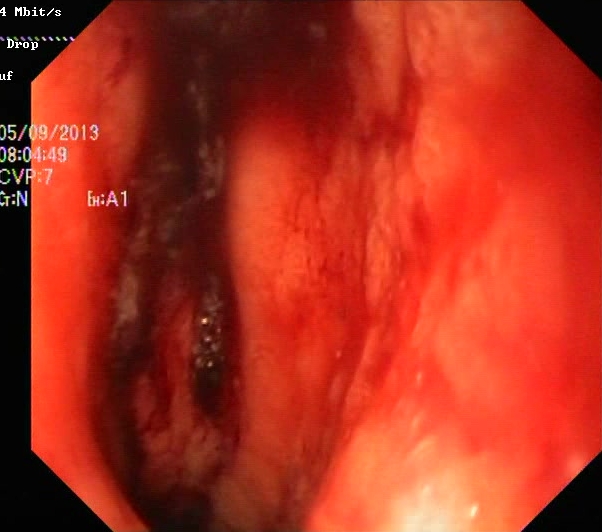Lower gastrointestinal endoscopy. Tract: lower GI tract. Finding: ulcerative colitis, Mayo endoscopic subscore 3.